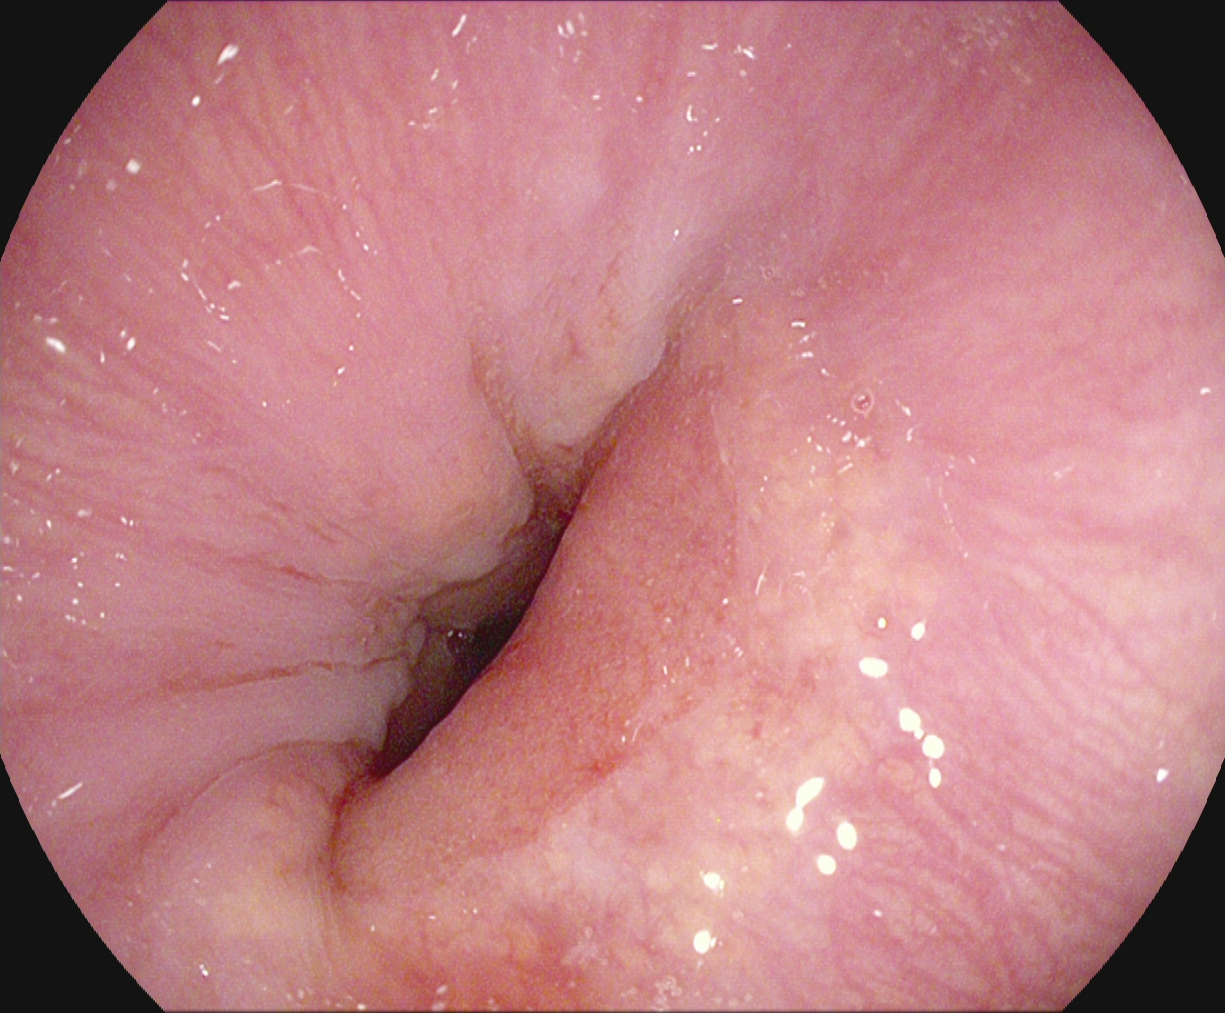Esophagogastroduodenoscopy. Finding: Z-line (gastroesophageal junction).